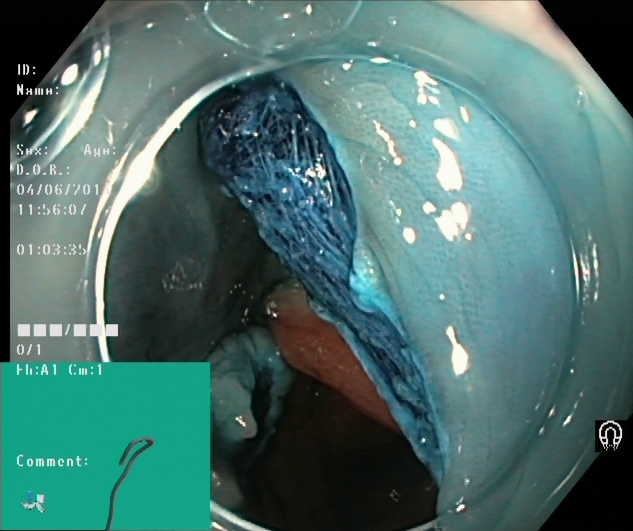{"modality": "lower gastrointestinal endoscopy", "finding": "dyed resection margins (post-polypectomy)"}